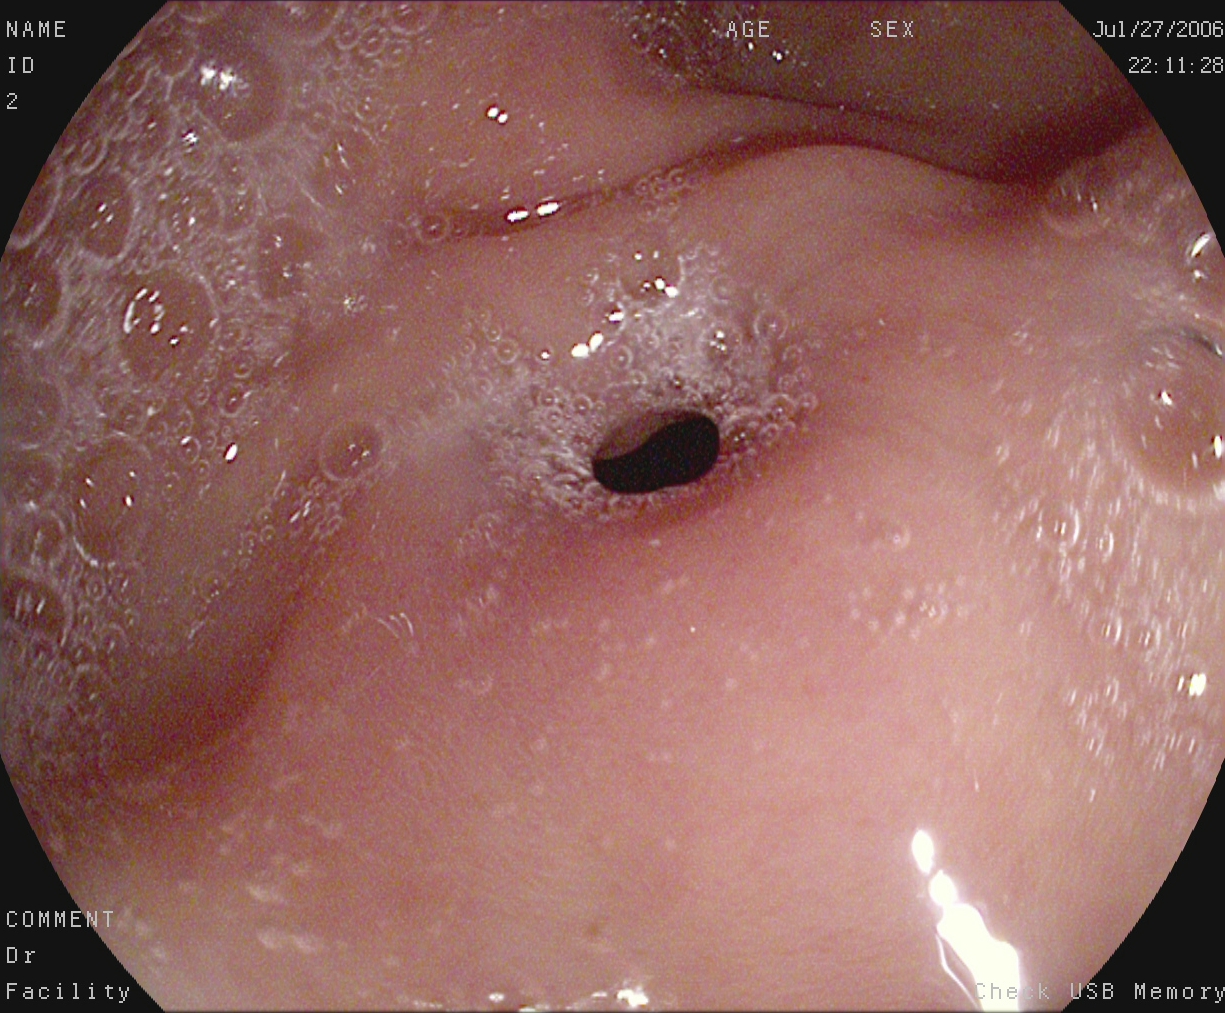Pylorus.